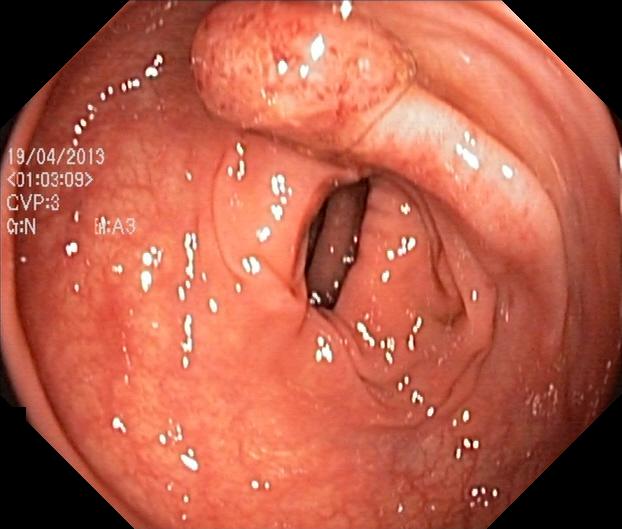colorectal polyp(s).